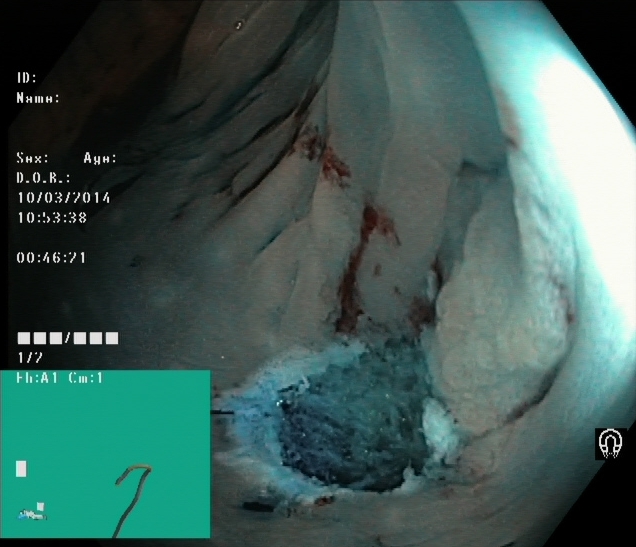Gastrointestinal endoscopy image of the lower GI tract showing dyed resection margins (post-polypectomy).